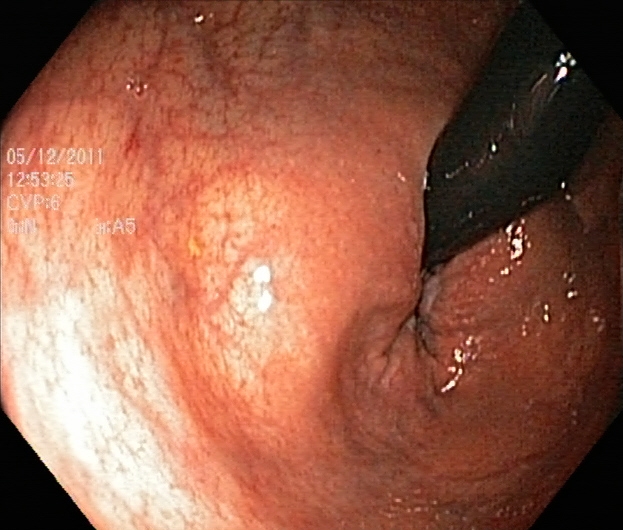Endoscopic image of the lower GI tract showing rectum in retroflexion.